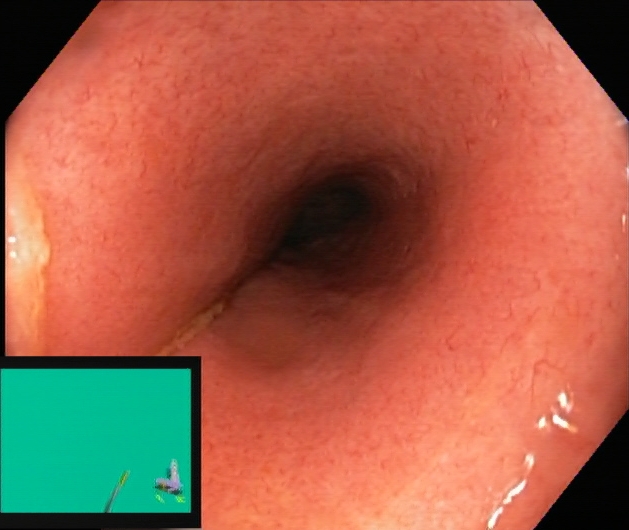Lower gastrointestinal endoscopy. Pathological finding. Finding: UC, Mayo endoscopic subscore 2.